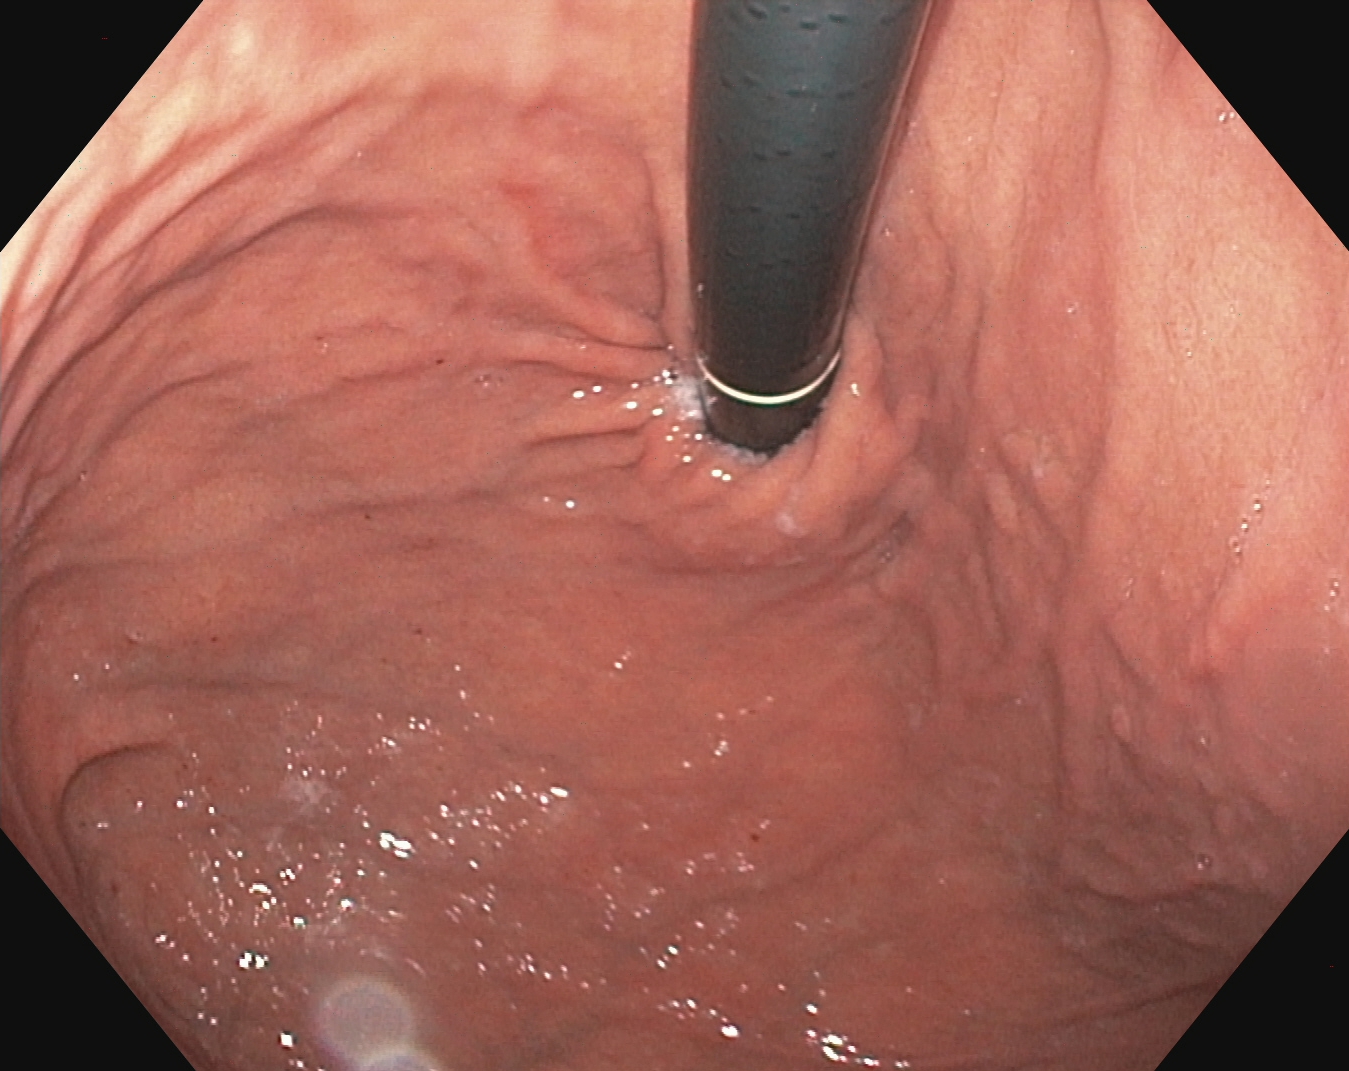Upper-GI endoscopy — stomach in retroflexion.